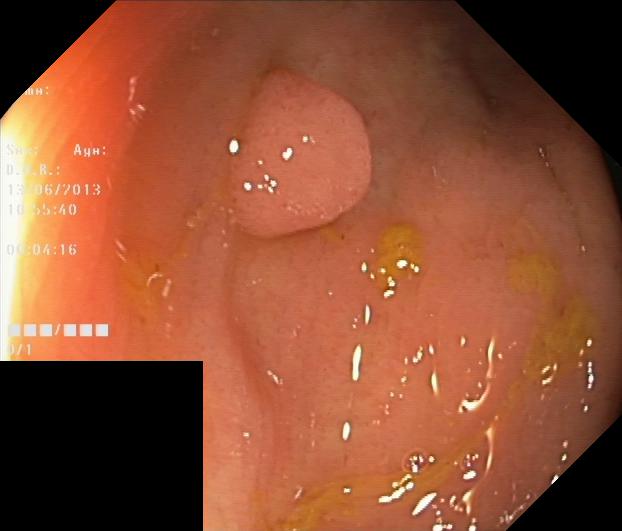Colonoscopy — colorectal polyp(s).